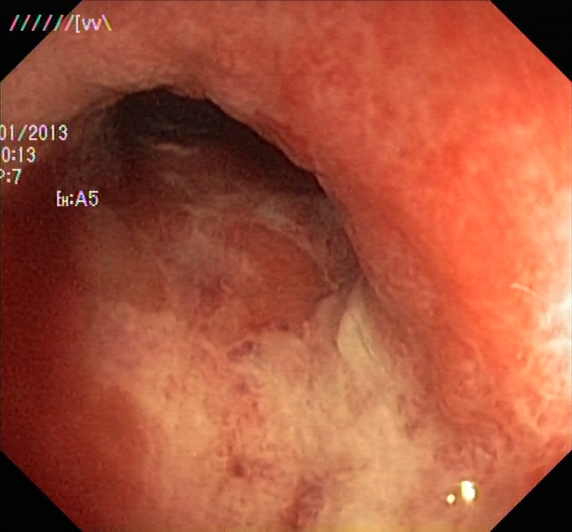modality: colonoscopy
tract: lower GI tract
finding: UC, Mayo endoscopic subscore 2